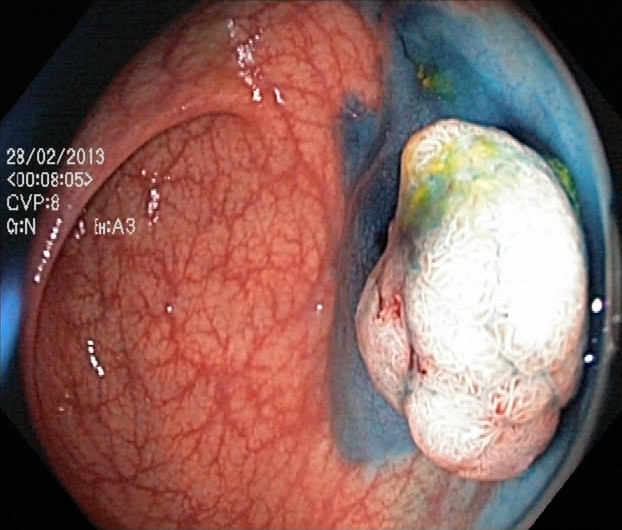Dyed and lifted polyp (pre-resection).